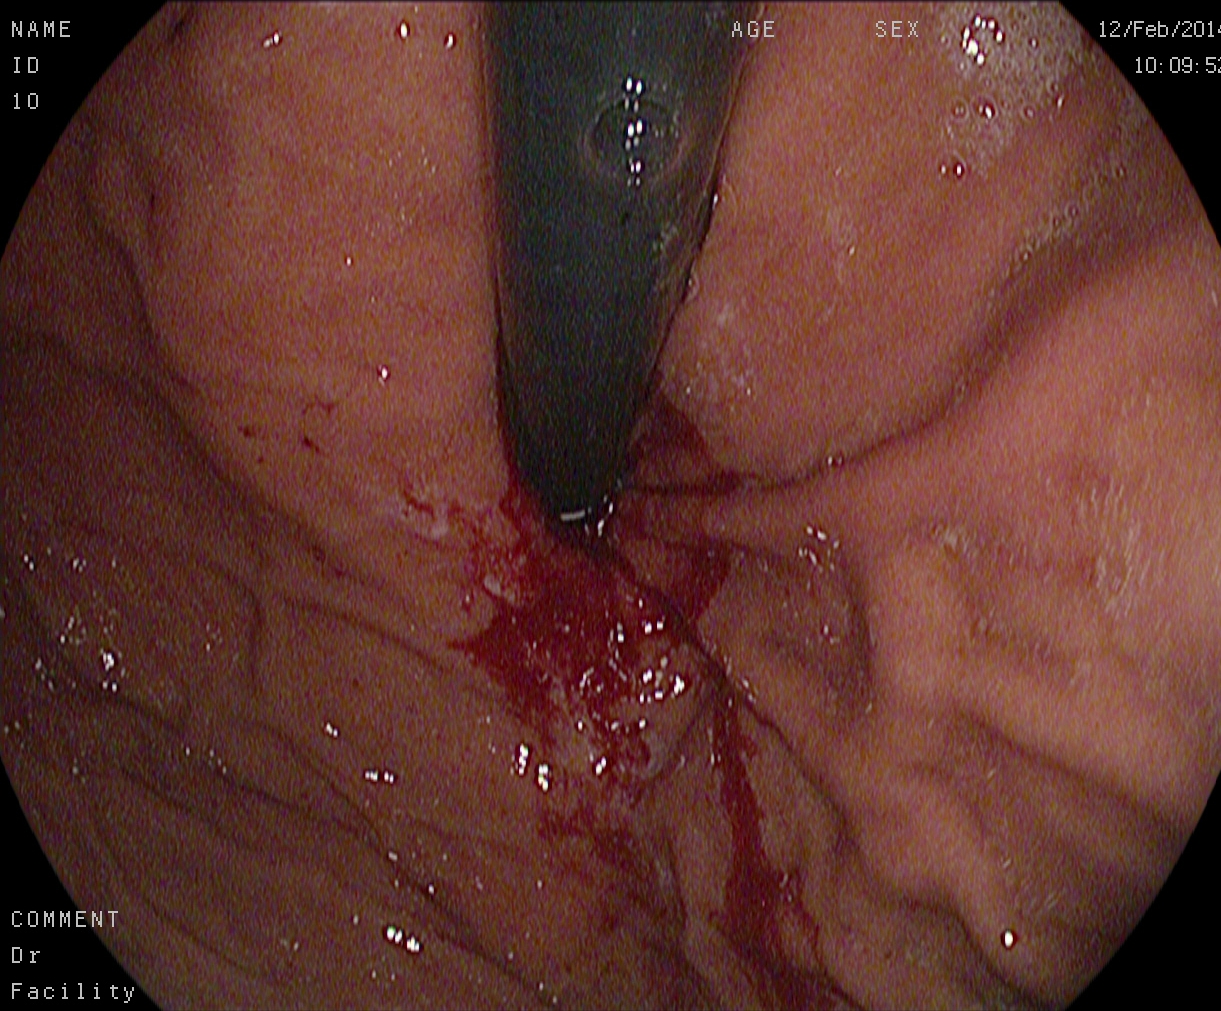This endoscopy frame of the upper GI tract shows stomach in retroflexion.